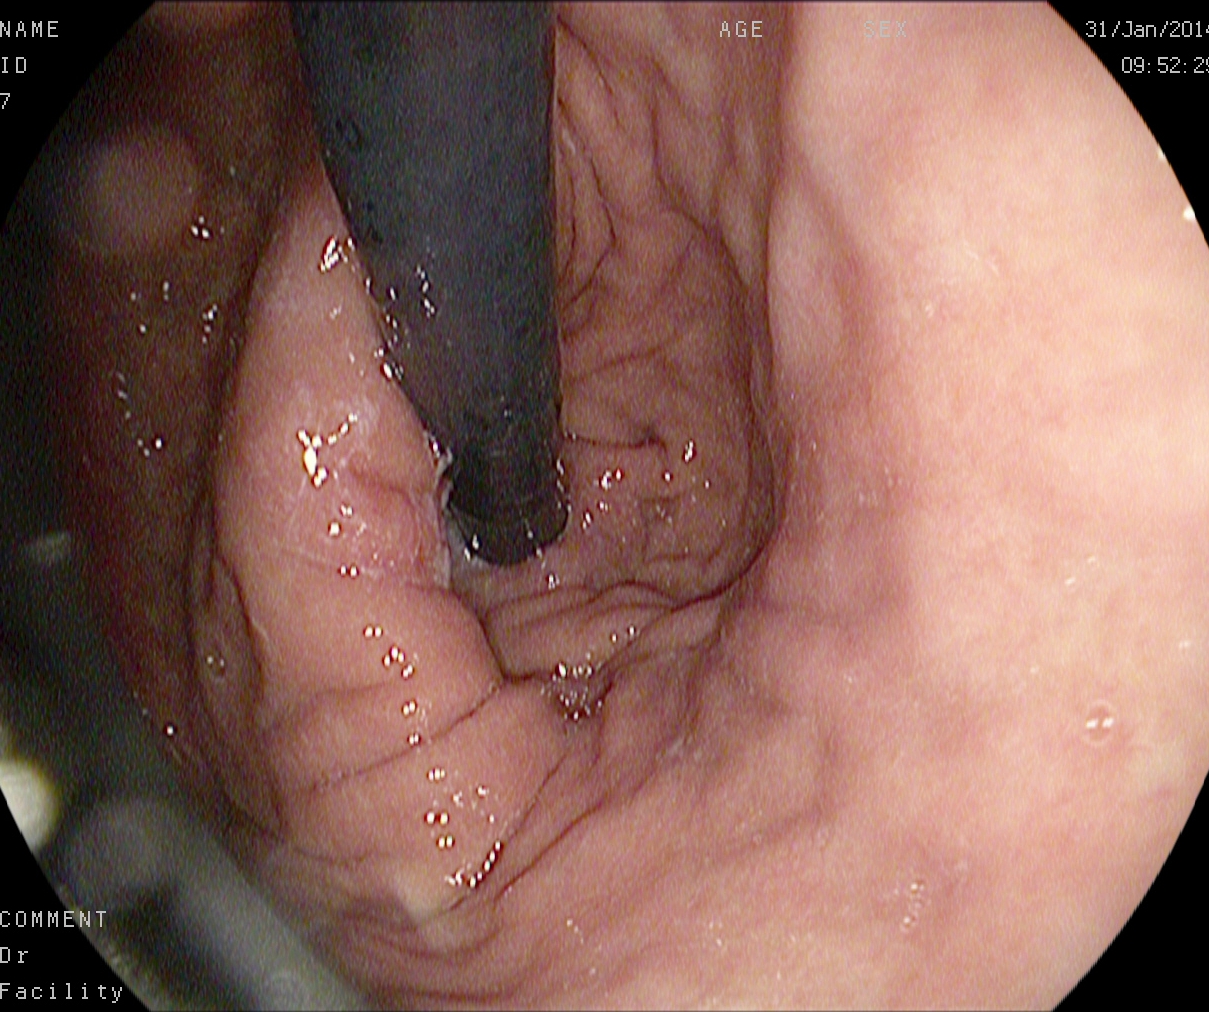Gastroscopy. Tract: upper GI tract. Anatomical landmark. Finding: stomach in retroflexion.